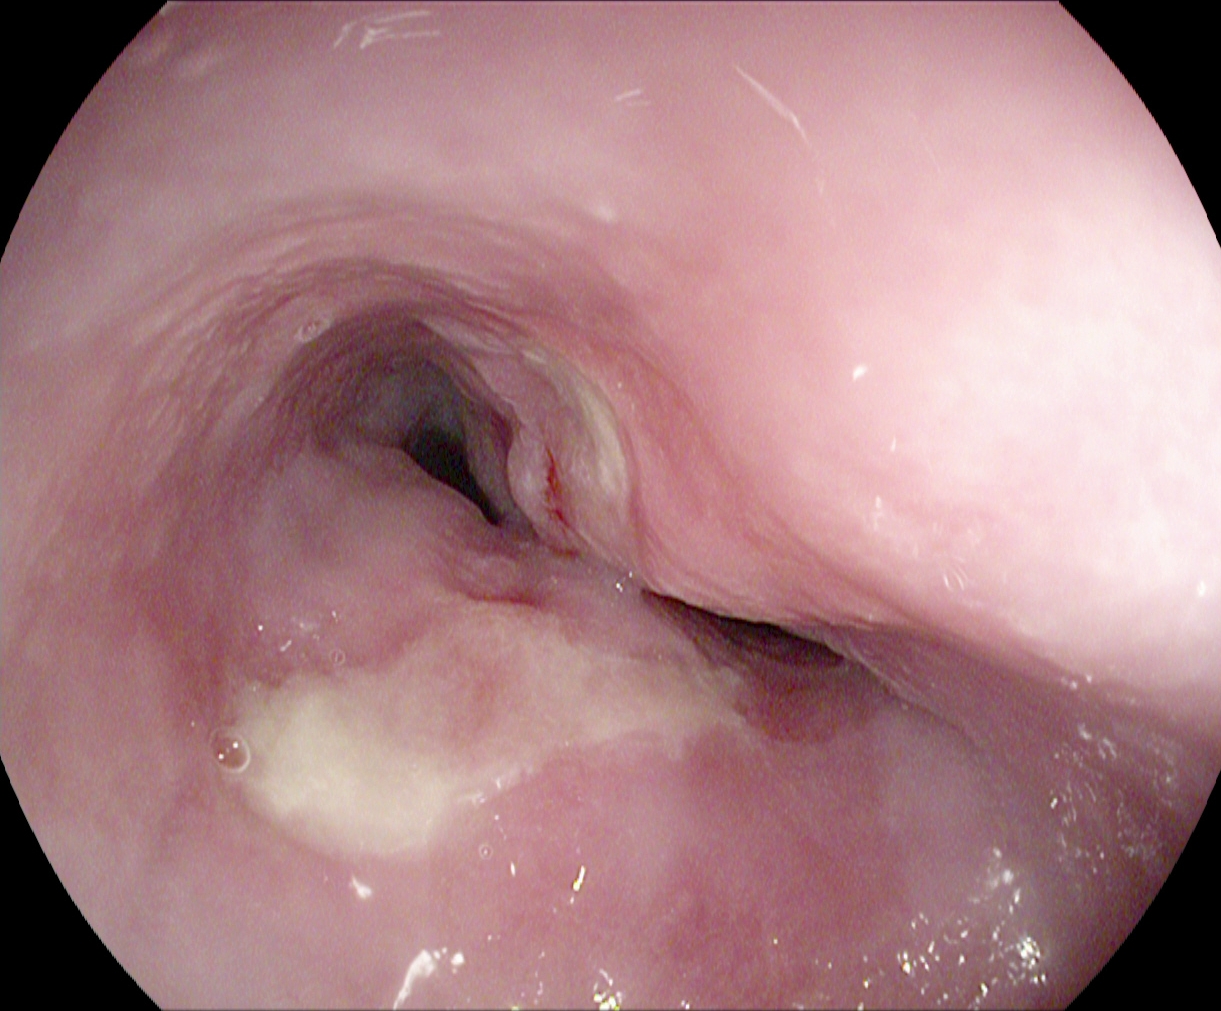Esophagogastroduodenoscopy. Tract: upper GI tract. Finding: reflux esophagitis, Los Angeles grade B–D.